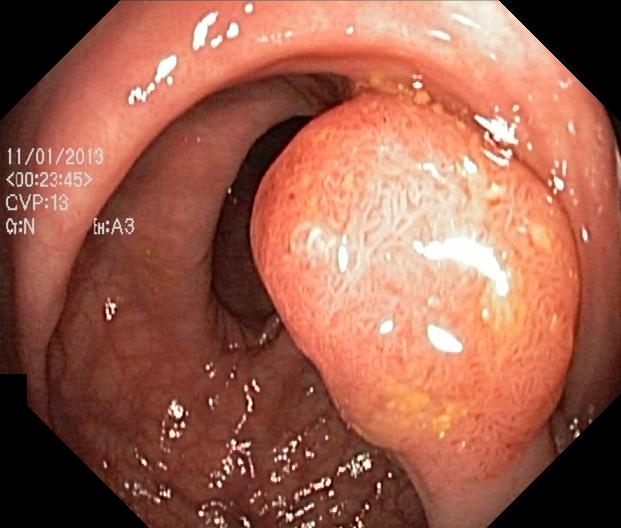modality: lower-GI endoscopy | finding: colorectal polyp(s)